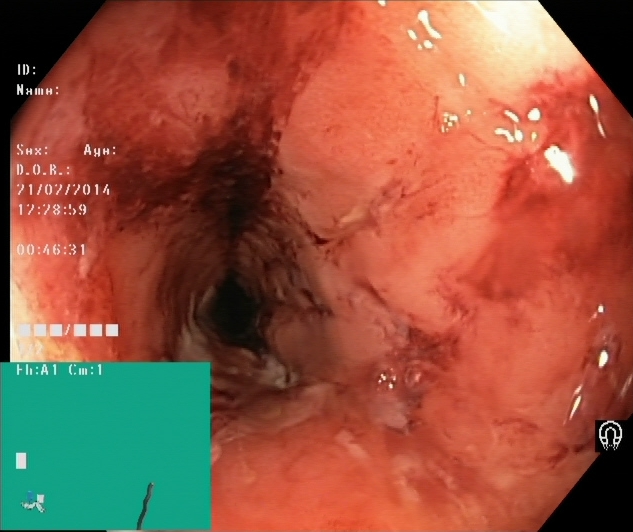modality: colonoscopy | finding: ulcerative colitis, Mayo endoscopic subscore 2